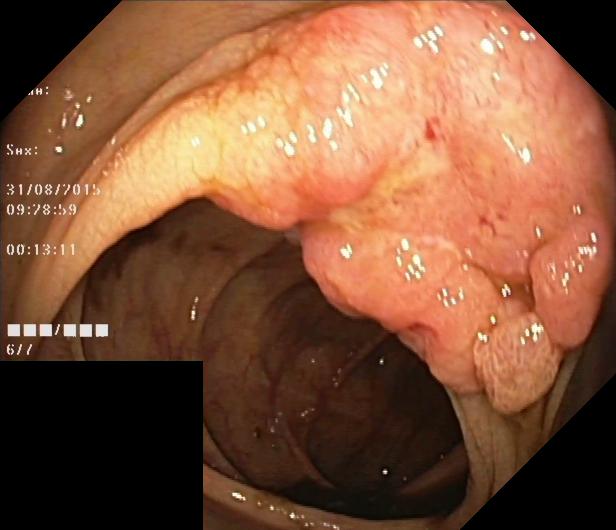GI endoscopy image of the lower GI tract showing colorectal polyp(s).